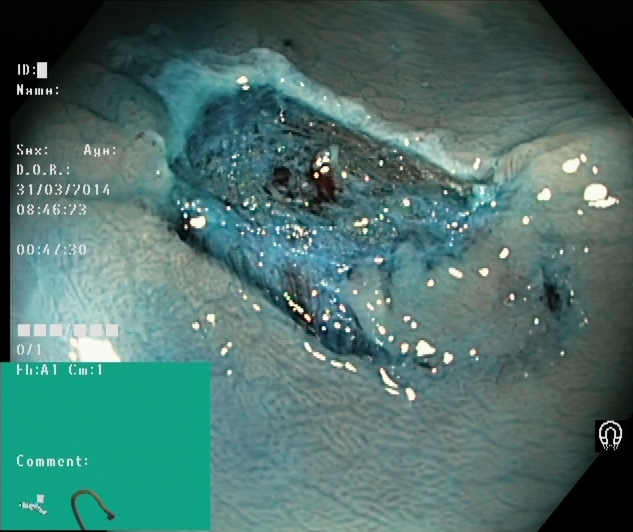dyed resection margins (post-polypectomy).